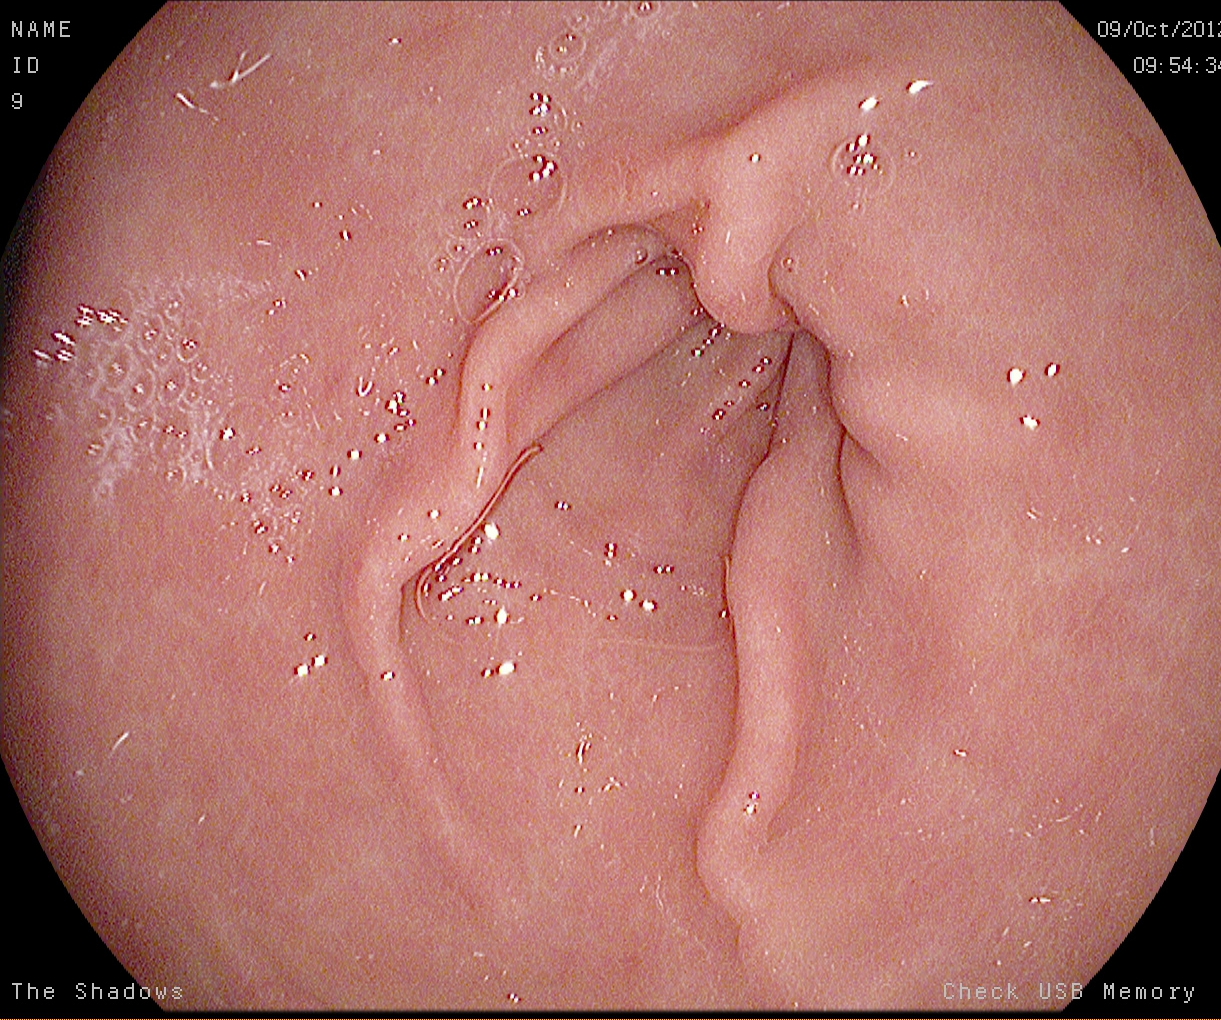{"modality": "esophagogastroduodenoscopy", "tract": "upper GI tract", "finding": "pylorus"}